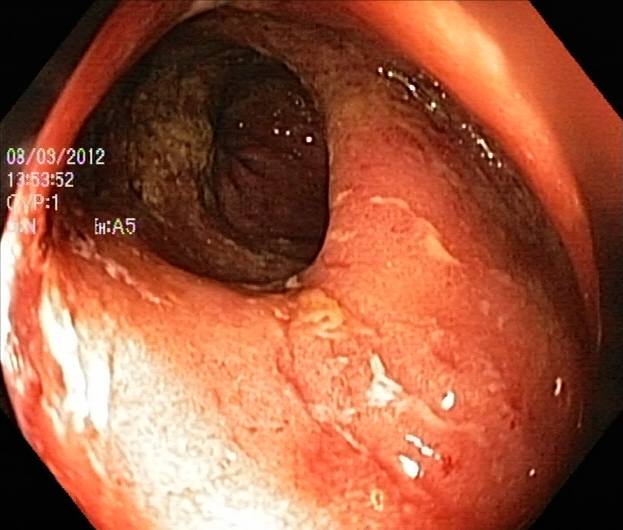UC, Mayo endoscopic subscore 2.